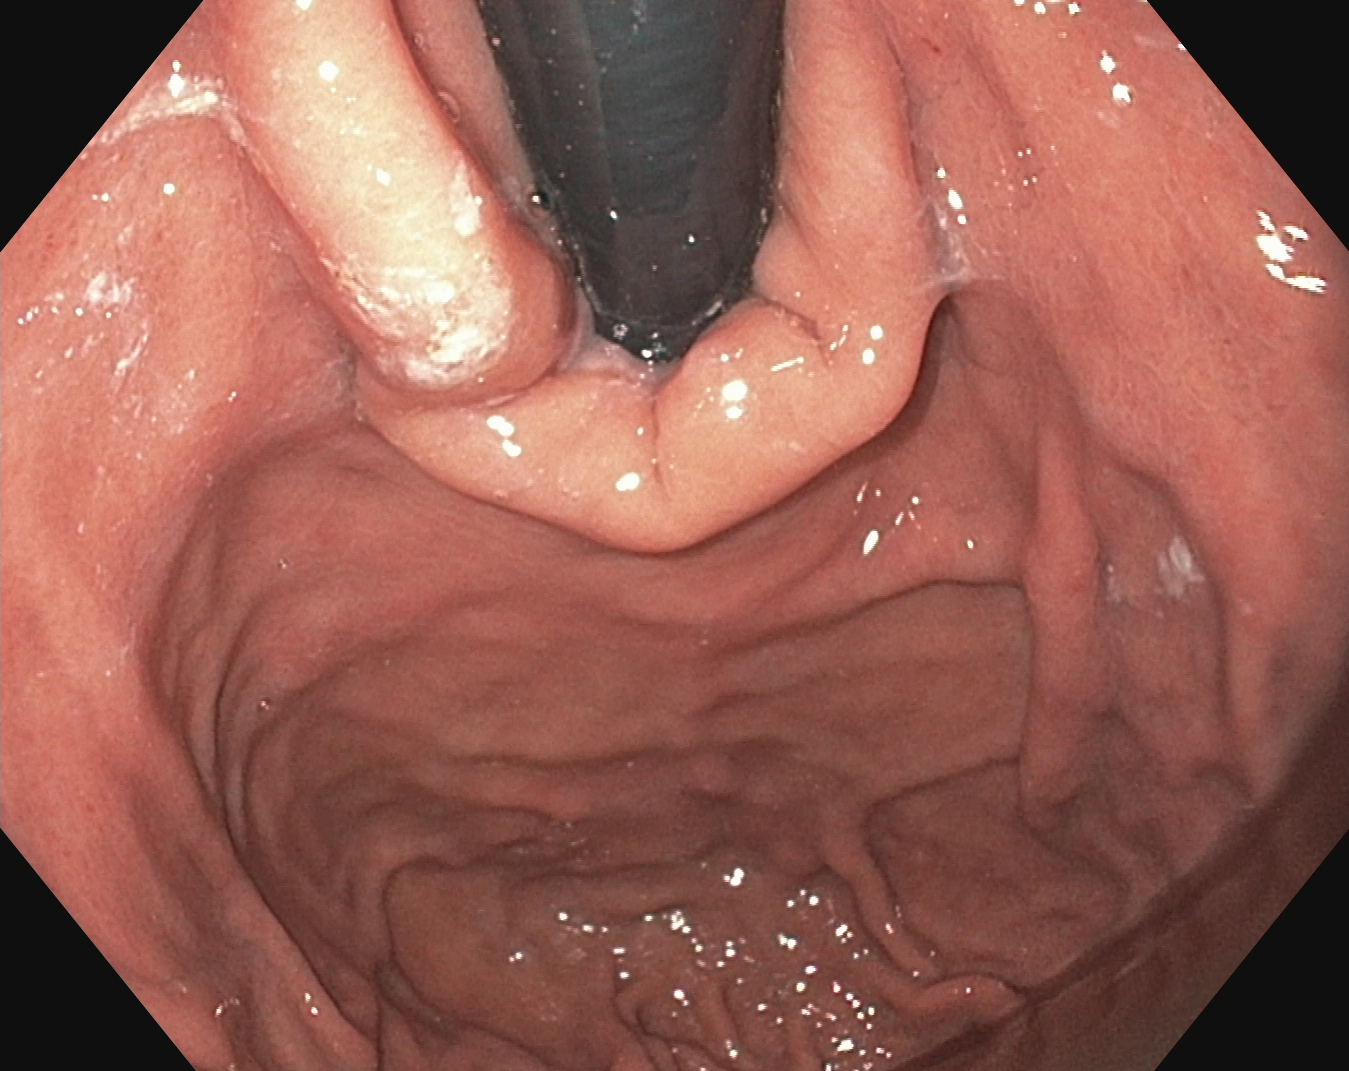EGD. Tract: upper GI tract. Anatomical landmark. Finding: stomach in retroflexion.